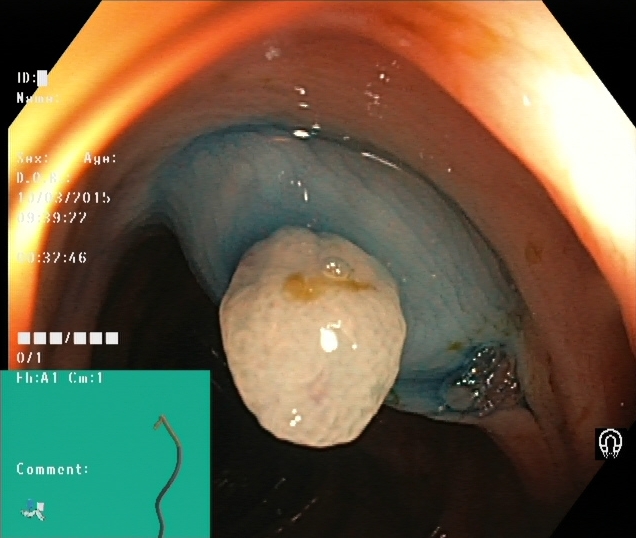modality: lower gastrointestinal endoscopy
finding: dyed and lifted polyp (pre-resection)